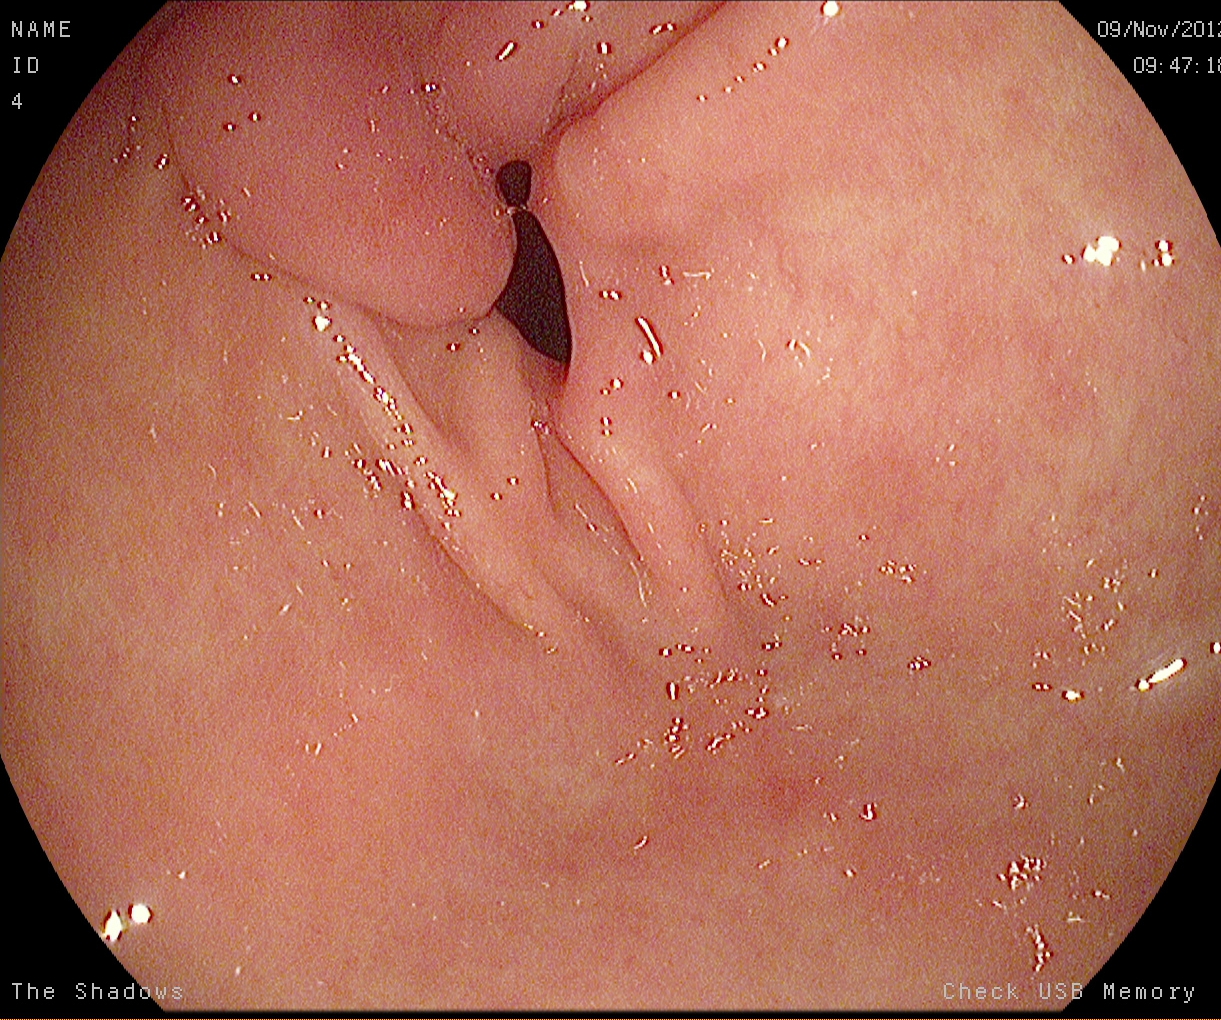{"modality": "esophagogastroduodenoscopy", "finding": "pylorus"}